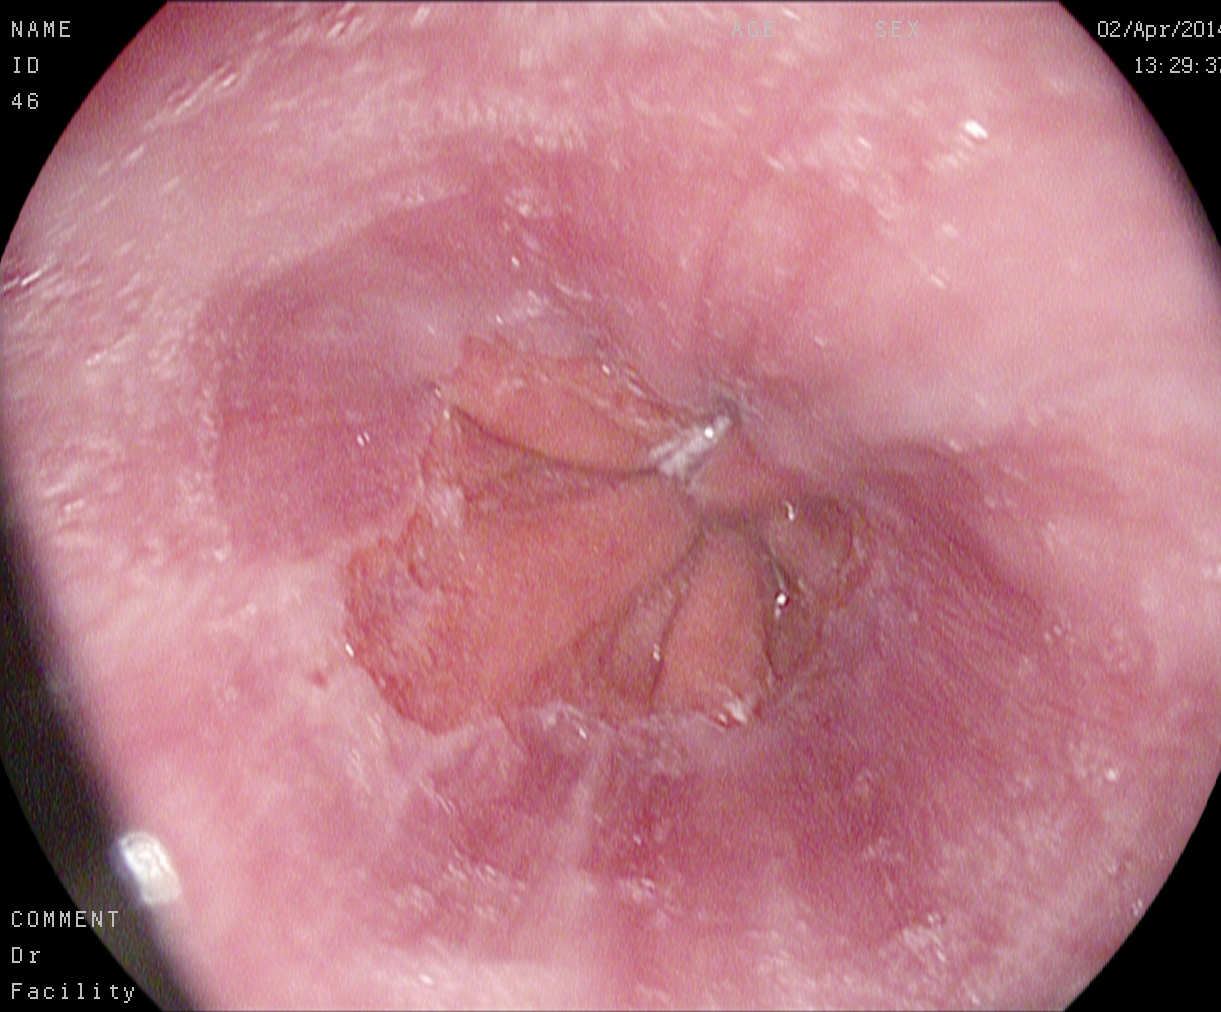{"modality": "esophagogastroduodenoscopy", "tract": "upper GI tract", "finding": "Z-line (gastroesophageal junction)"}